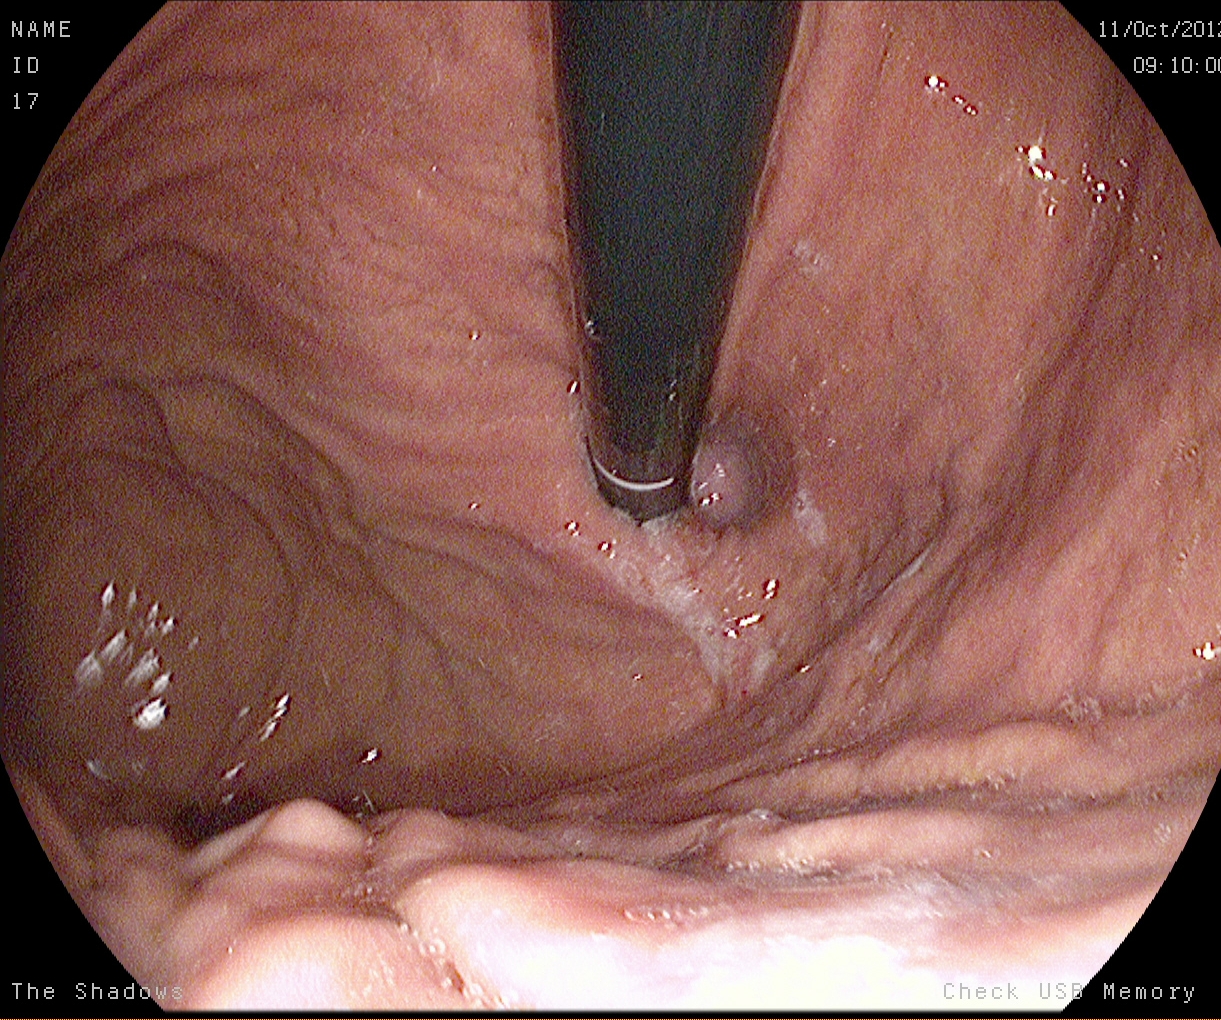PROCEDURE: EGD.
FINDINGS: Stomach in retroflexion.